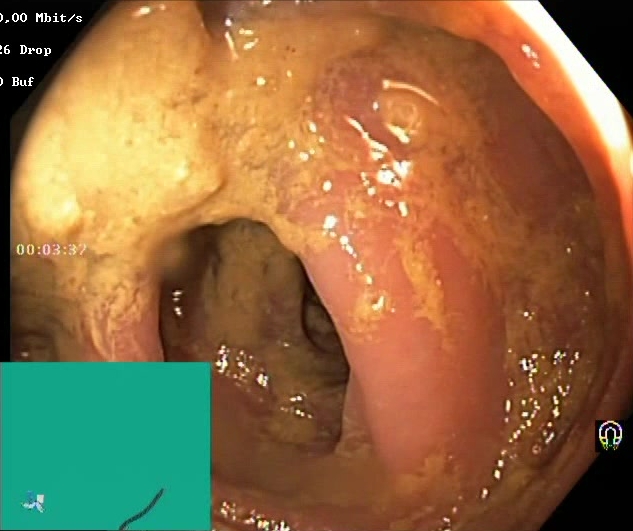Colonoscopy. Finding: Boston Bowel Preparation Scale score 0–1 (inadequate preparation).